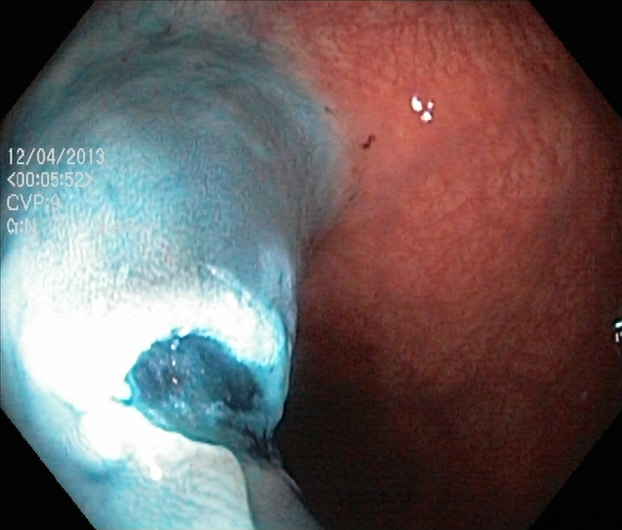PROCEDURE: Lower-GI endoscopy.
CATEGORY: Therapeutic intervention.
FINDINGS: Dyed resection margins (post-polypectomy).